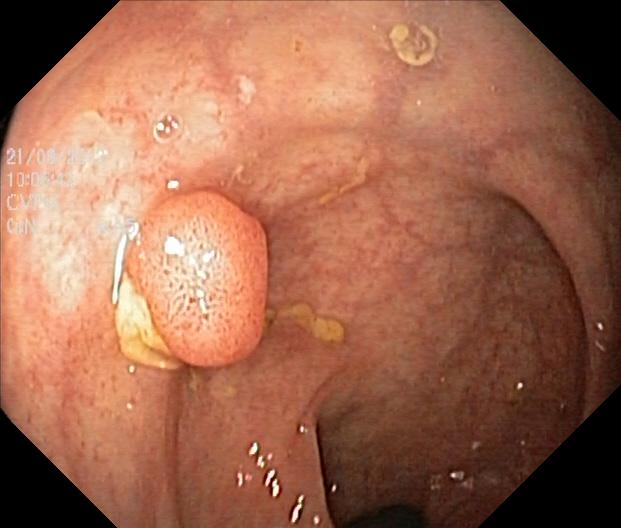Colorectal polyp(s).